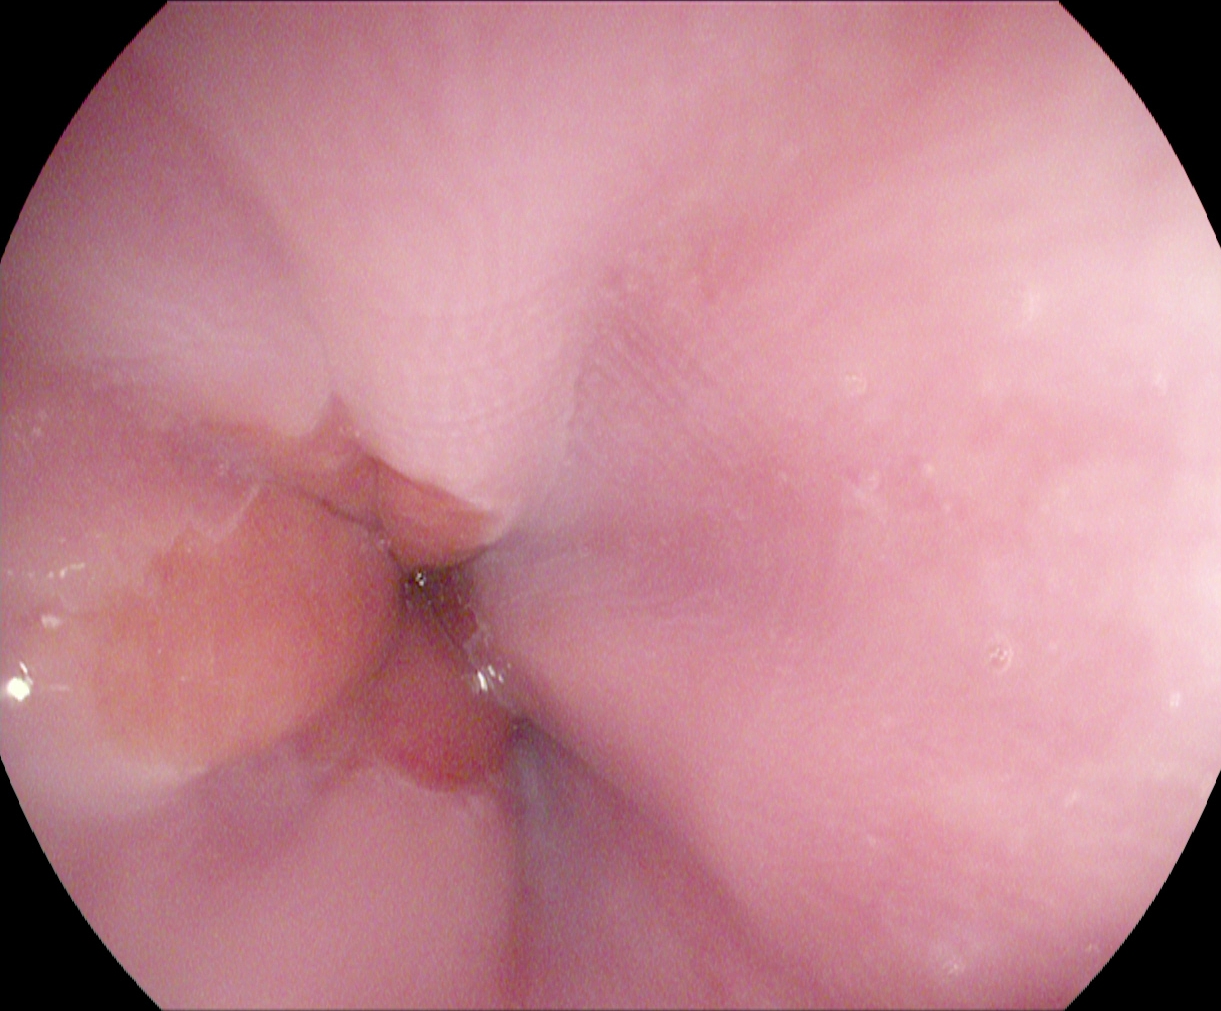modality: EGD | tract: upper GI tract | finding: Z-line (gastroesophageal junction)